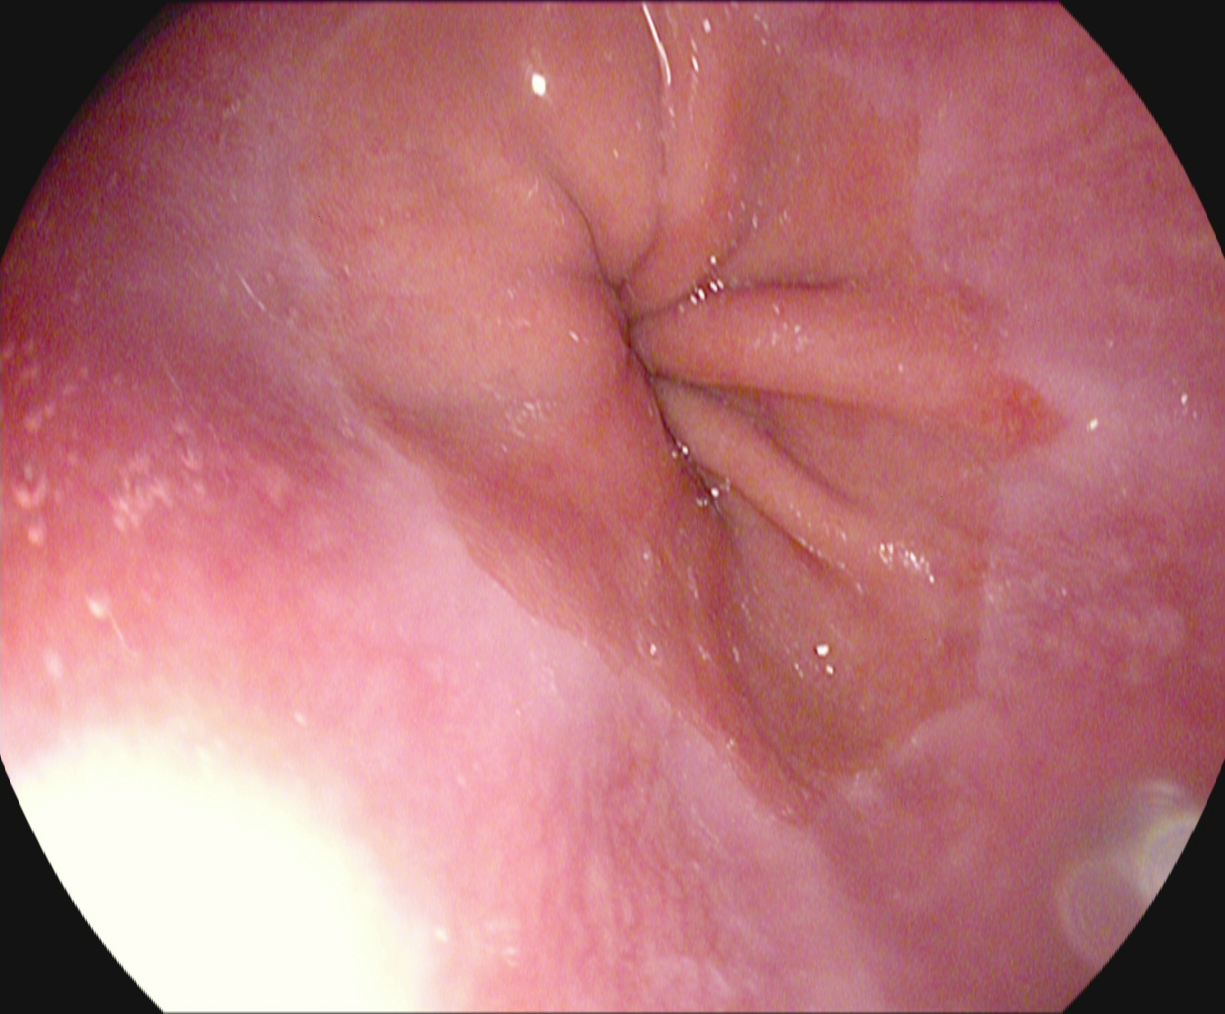{"modality": "upper-GI endoscopy", "tract": "upper GI tract", "category": "pathological finding", "finding": "reflux esophagitis, Los Angeles grade A"}